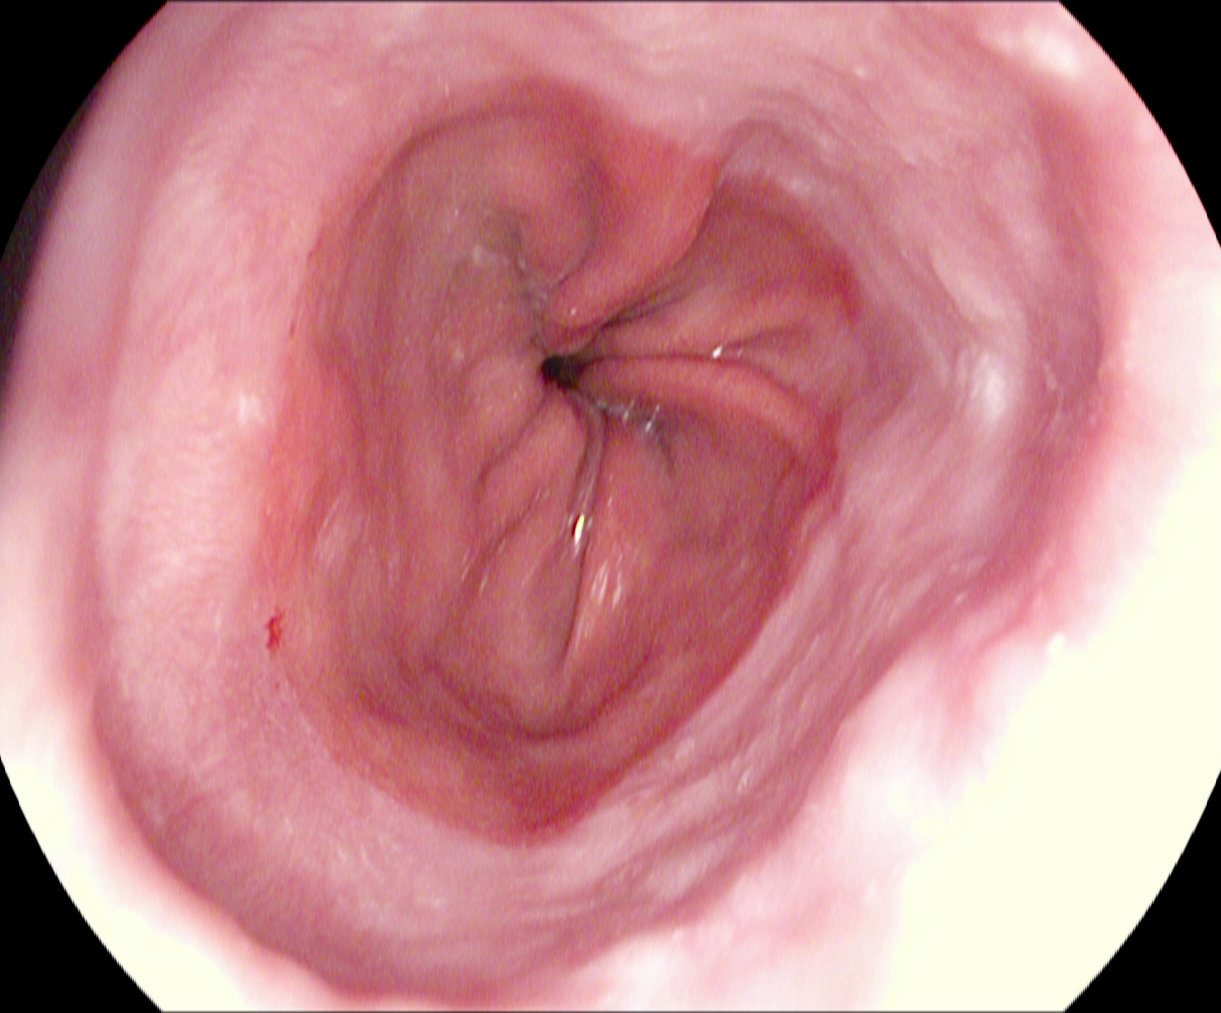Gastroscopy. Anatomical landmark. Finding: Z-line (gastroesophageal junction).